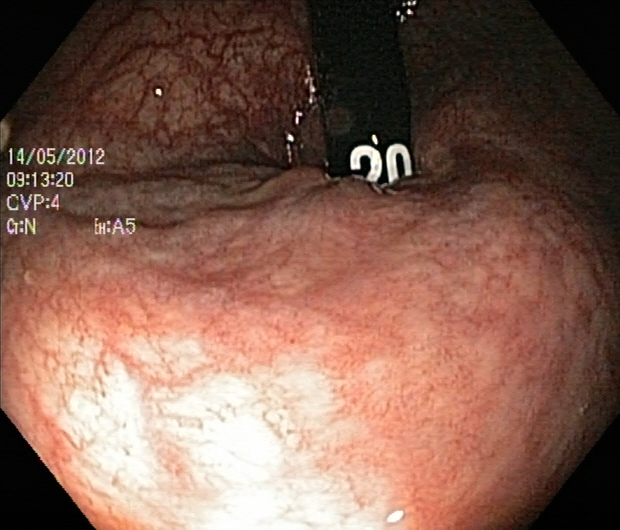PROCEDURE: Colonoscopy.
FINDINGS: Rectum in retroflexion.